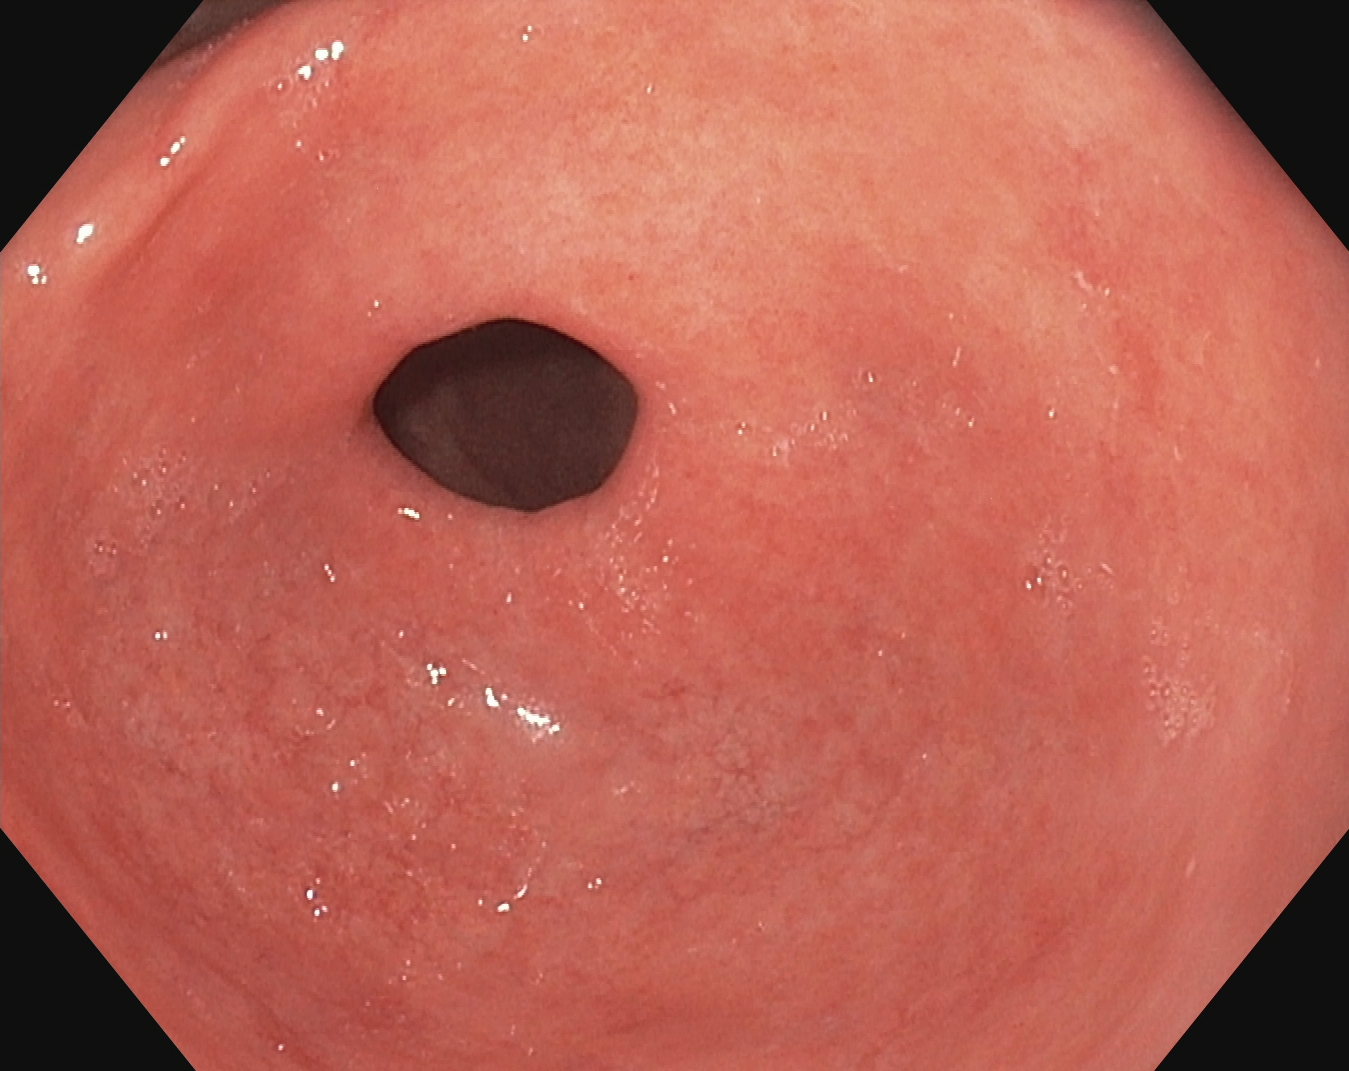GI endoscopy image showing pylorus.